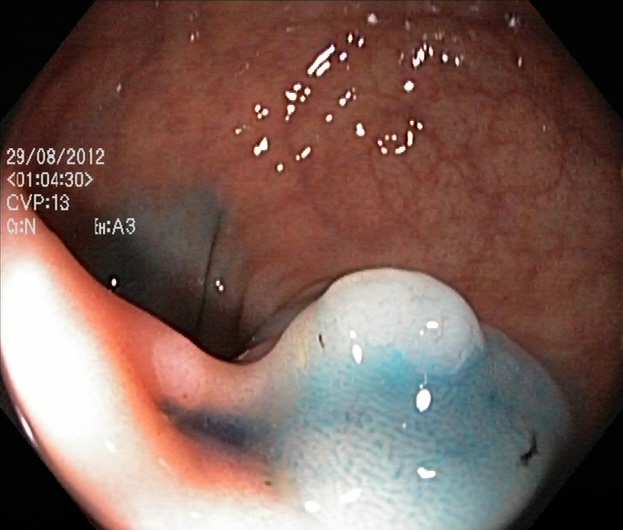{"modality": "lower-GI endoscopy", "tract": "lower GI tract", "category": "therapeutic intervention", "finding": "dyed and lifted polyp (pre-resection)"}